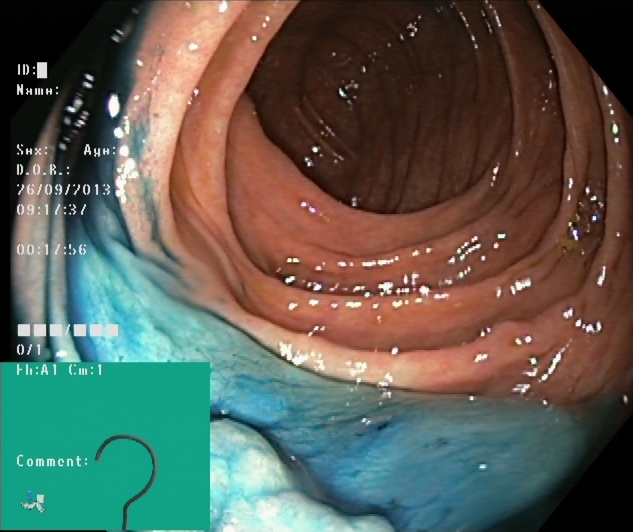Lower gastrointestinal endoscopy image of the lower GI tract showing dyed and lifted polyp (pre-resection).